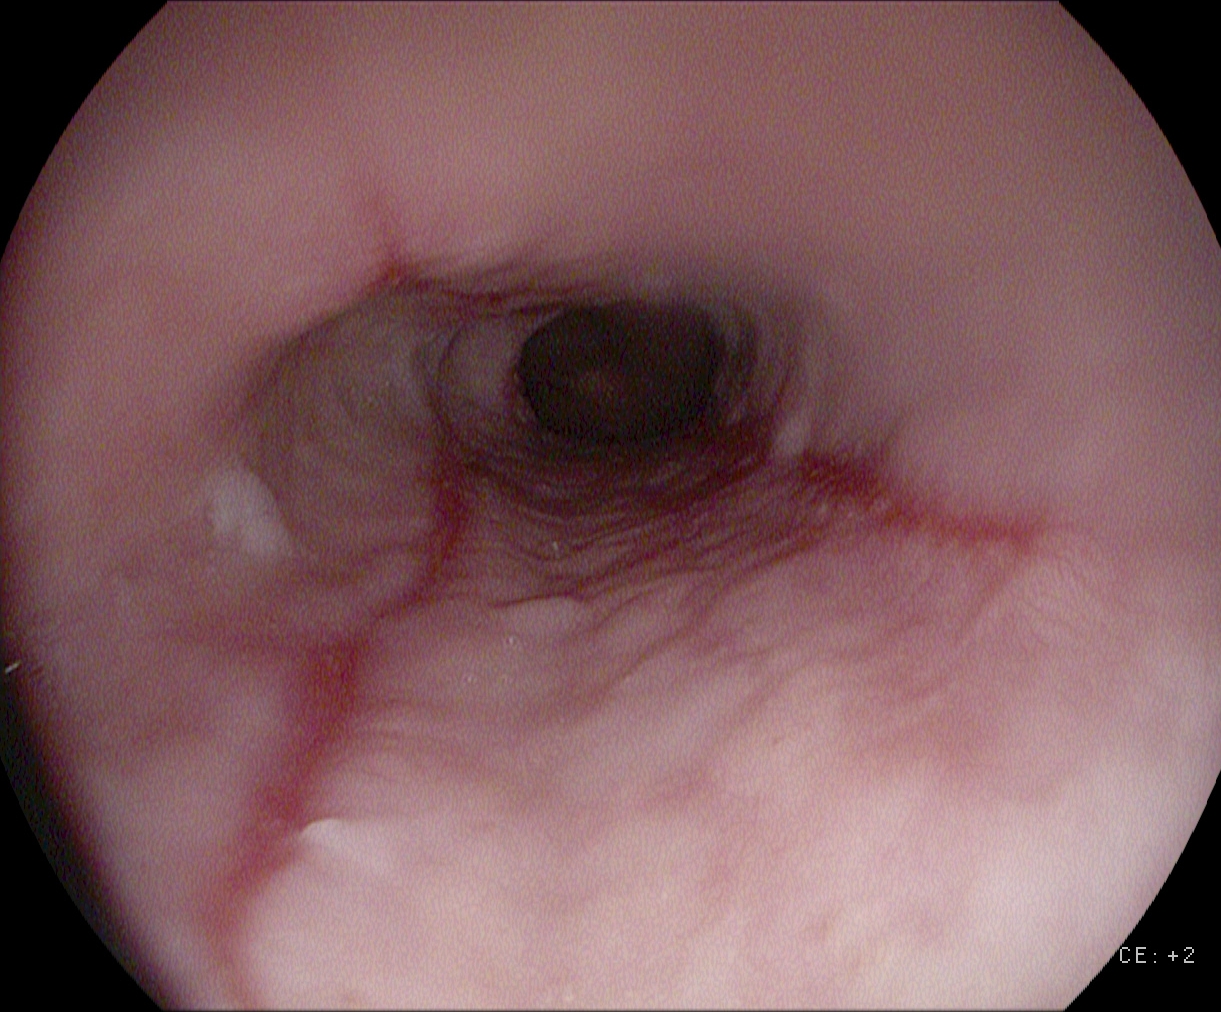{"modality": "esophagogastroduodenoscopy", "finding": "reflux esophagitis, Los Angeles grade B\u2013D"}